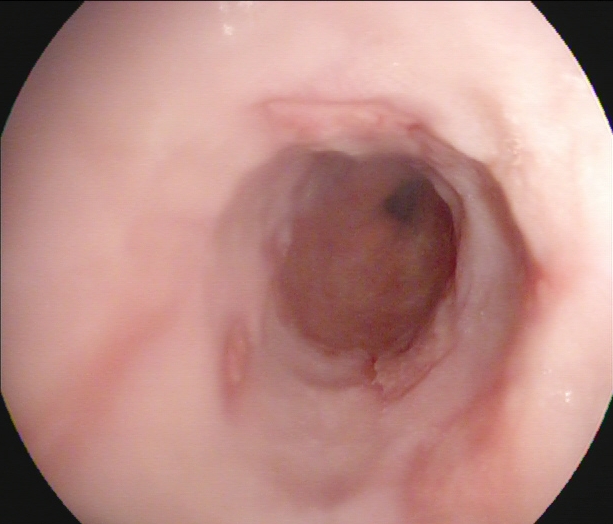PROCEDURE: Esophagogastroduodenoscopy.
FINDINGS: Reflux esophagitis, Los Angeles grade B–D.